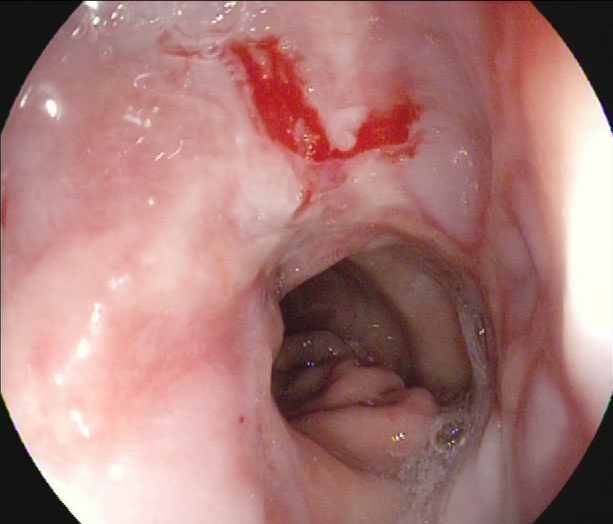{"modality": "esophagogastroduodenoscopy", "finding": "reflux esophagitis, LA grade B\u2013D"}